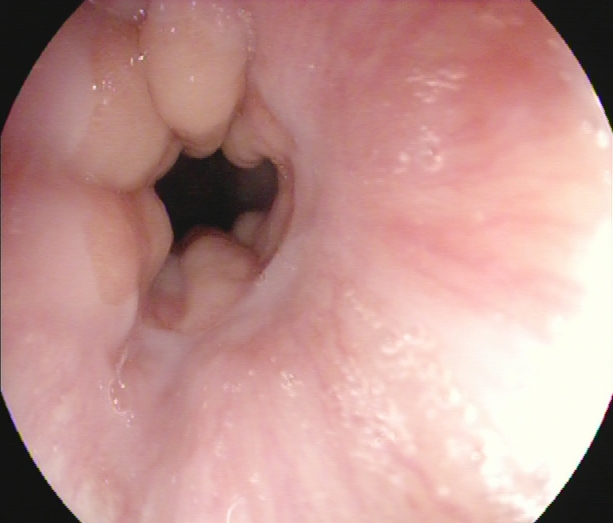This endoscopic image of the upper GI tract shows Z-line (gastroesophageal junction).